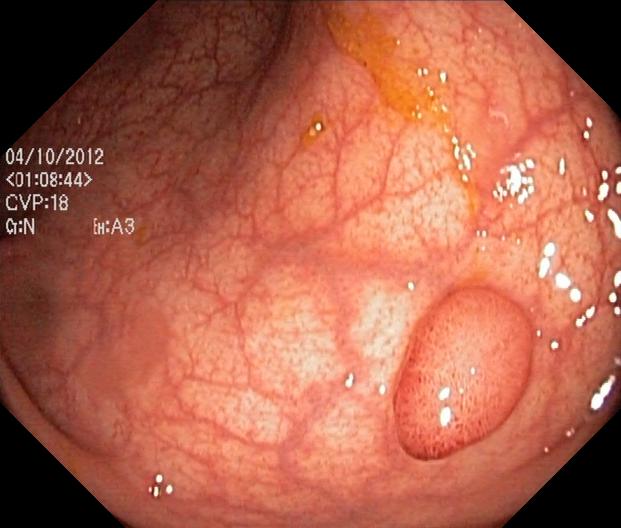modality: lower gastrointestinal endoscopy; finding: colorectal polyp(s)